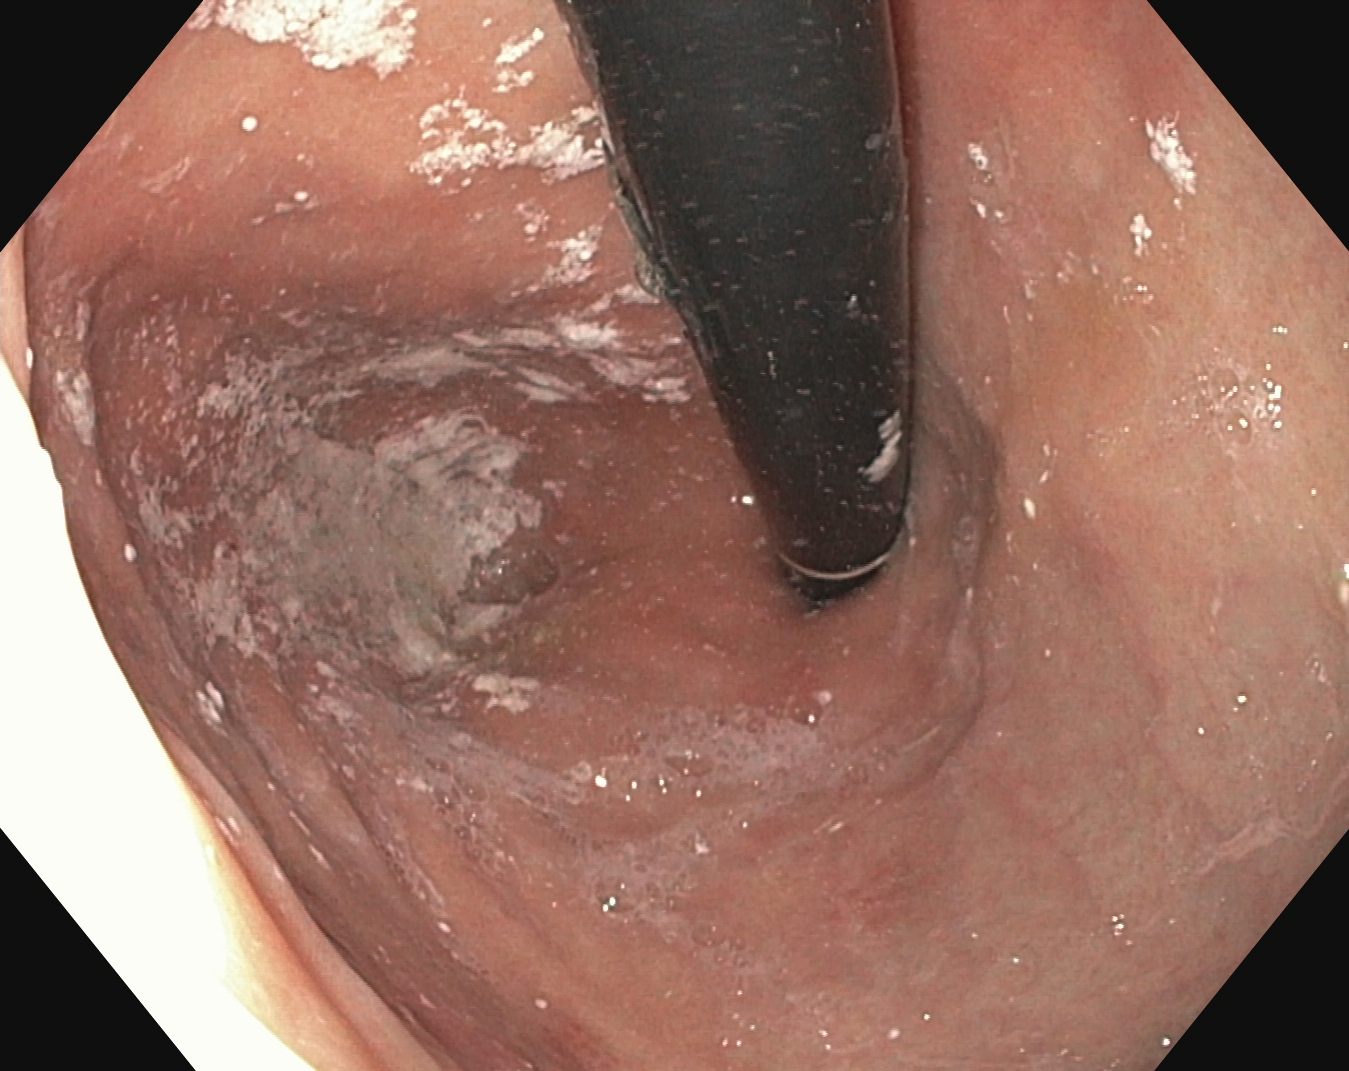{"modality": "EGD", "tract": "upper GI tract", "category": "anatomical landmark", "finding": "stomach in retroflexion"}